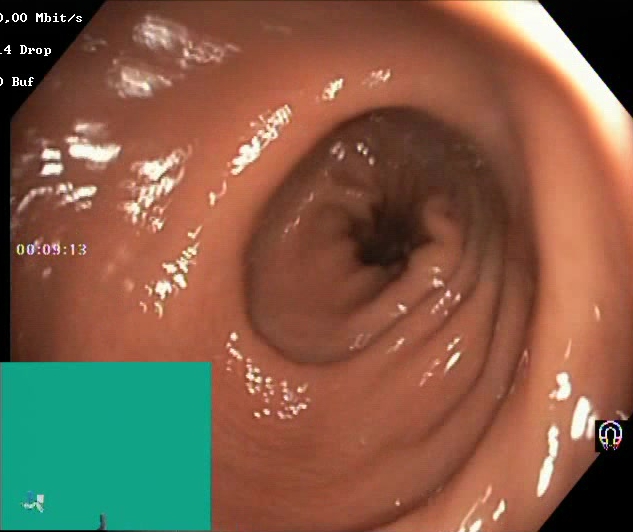Boston Bowel Preparation Scale score 2–3 (adequate preparation).